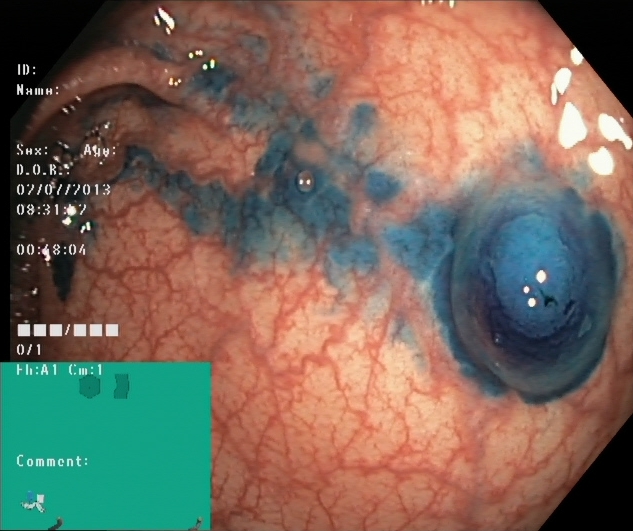{"modality": "colonoscopy", "finding": "dyed and lifted polyp (pre-resection)"}